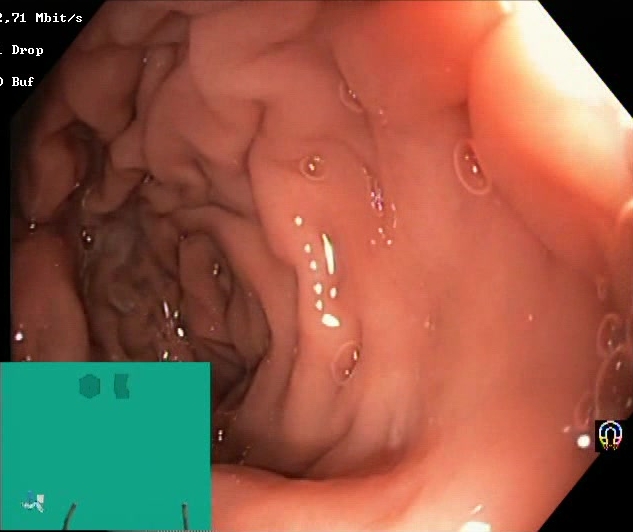{"modality": "colonoscopy", "tract": "lower GI tract", "finding": "Boston Bowel Preparation Scale score 2\u20133 (adequate preparation)"}